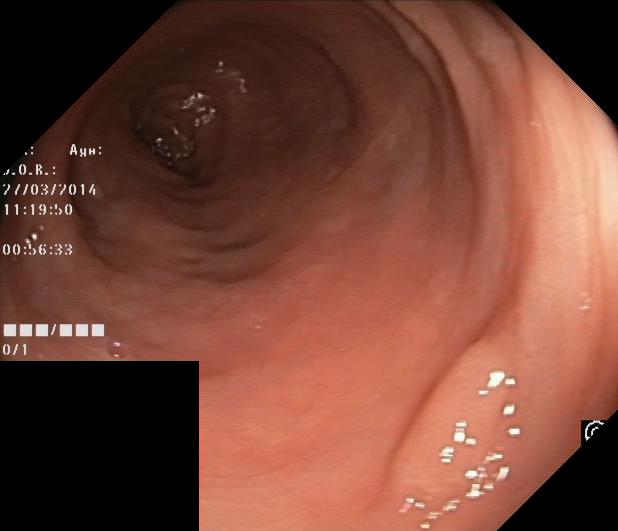Colonoscopy. Finding: colorectal polyp(s).